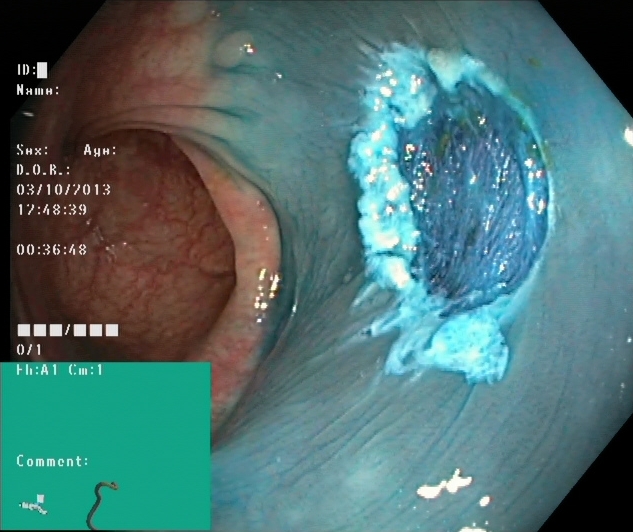Colonoscopy. Tract: lower GI tract. Therapeutic intervention. Finding: dyed resection margins (post-polypectomy).